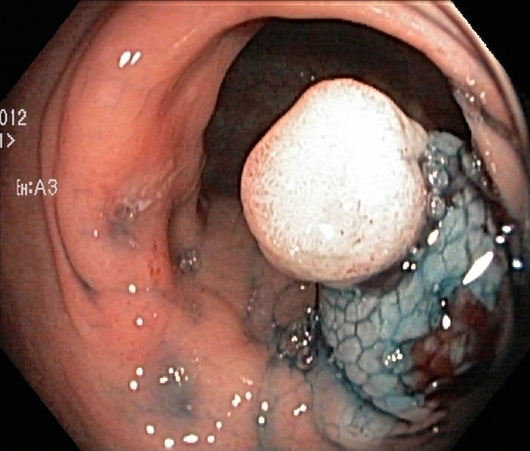modality: lower-GI endoscopy; tract: lower GI tract; finding: dyed and lifted polyp (pre-resection)